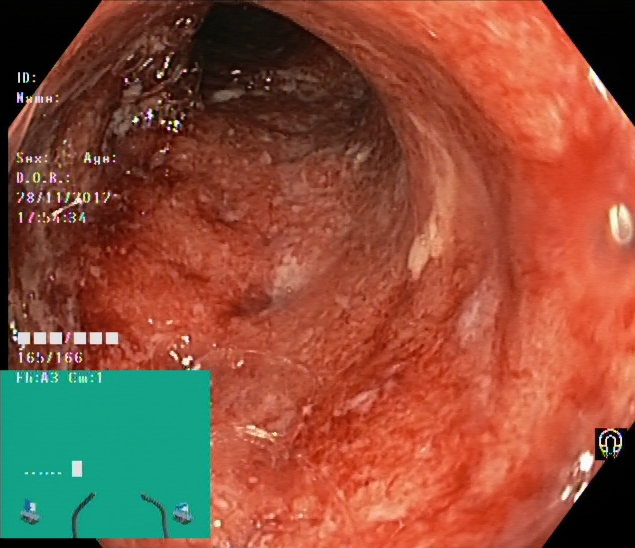{"modality": "lower-GI endoscopy", "tract": "lower GI tract", "category": "pathological finding", "finding": "ulcerative colitis, Mayo endoscopic subscore 3"}